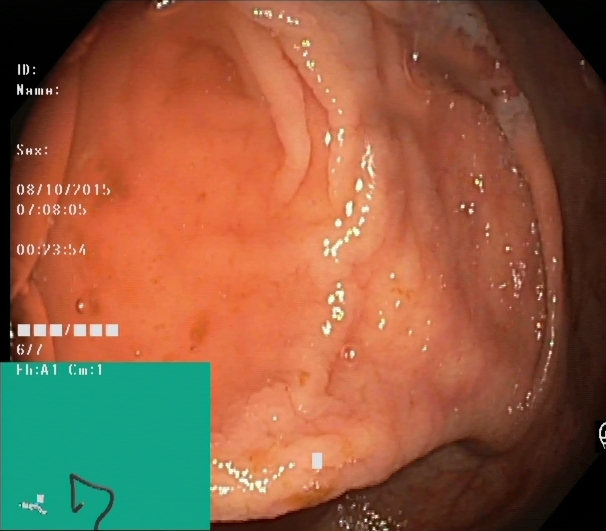PROCEDURE: Lower-GI endoscopy.
FINDINGS: Cecum.